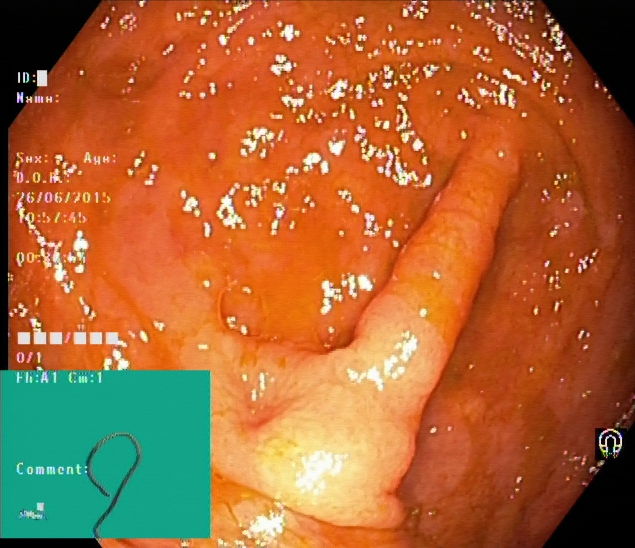Cecum.